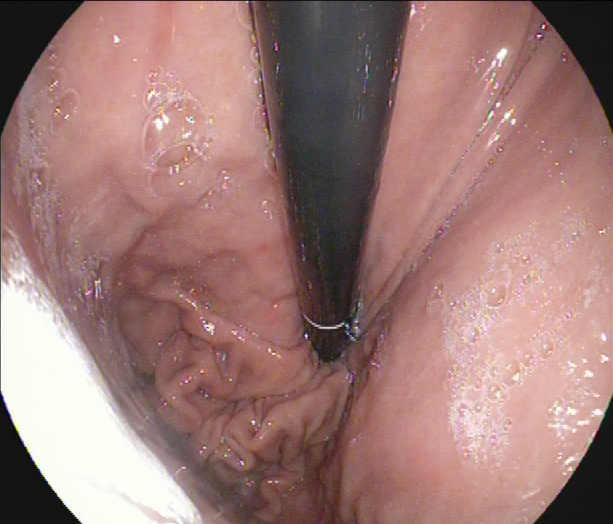Endoscopic frame showing stomach in retroflexion.